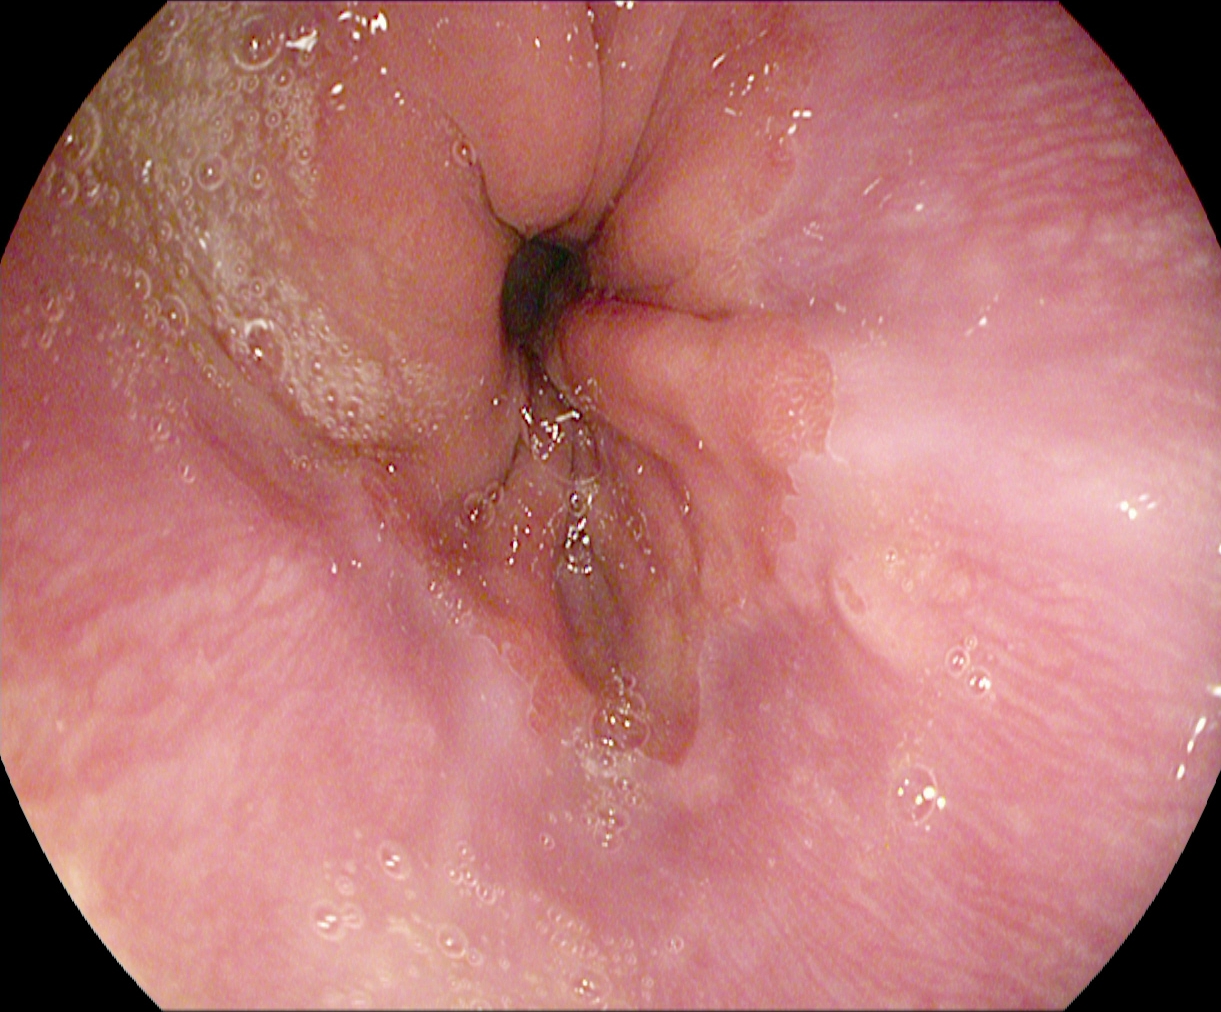Esophagogastroduodenoscopy — Z-line (gastroesophageal junction).